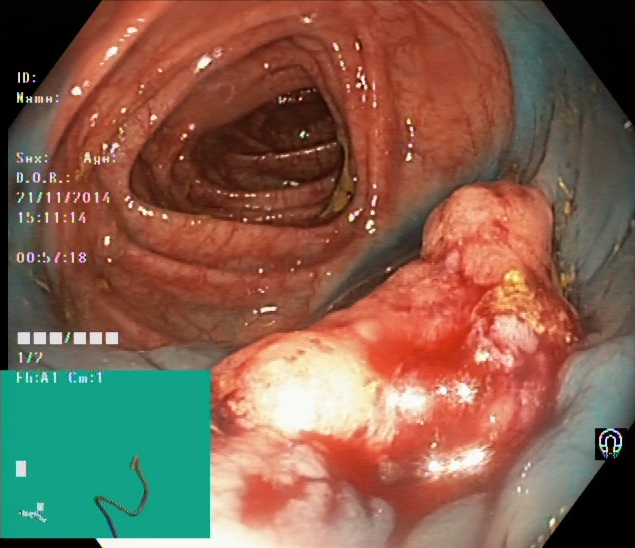Dyed and lifted polyp (pre-resection).